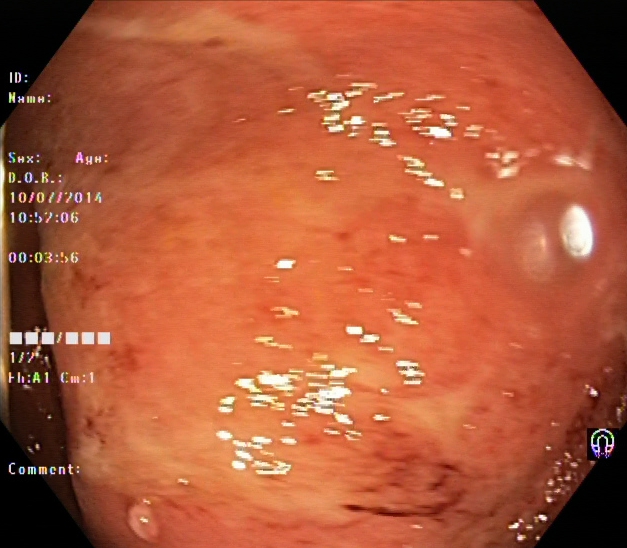Lower-GI endoscopy — ulcerative colitis, Mayo endoscopic subscore 2.